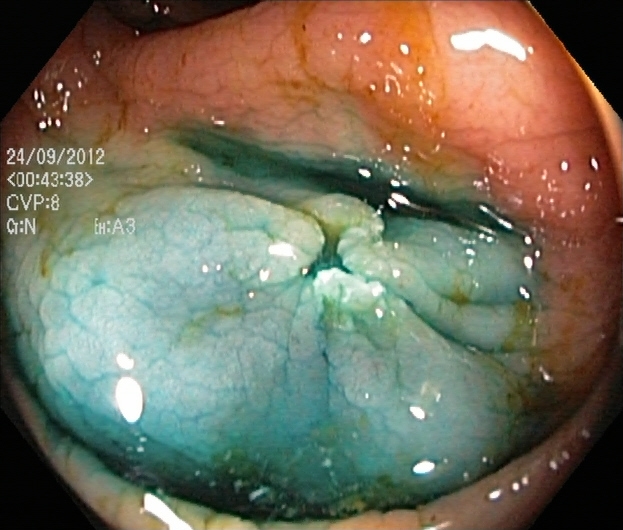Colonoscopy — dyed resection margins (post-polypectomy).